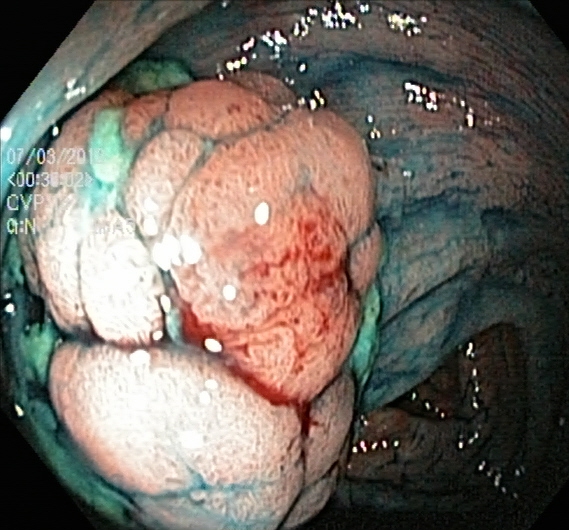PROCEDURE: Lower-GI endoscopy.
FINDINGS: Dyed and lifted polyp (pre-resection).